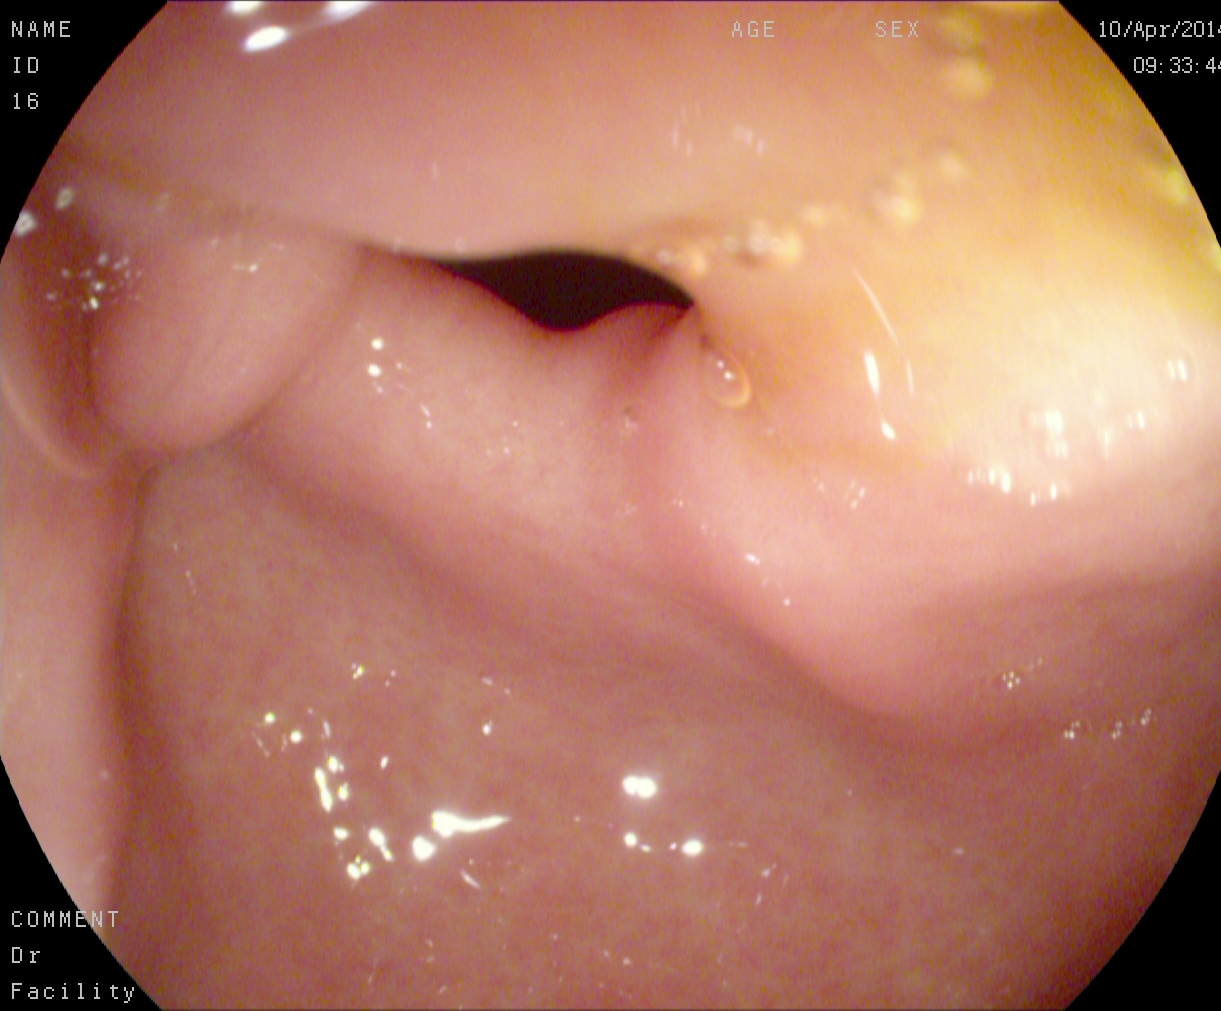This endoscopic image of the upper GI tract shows pylorus.